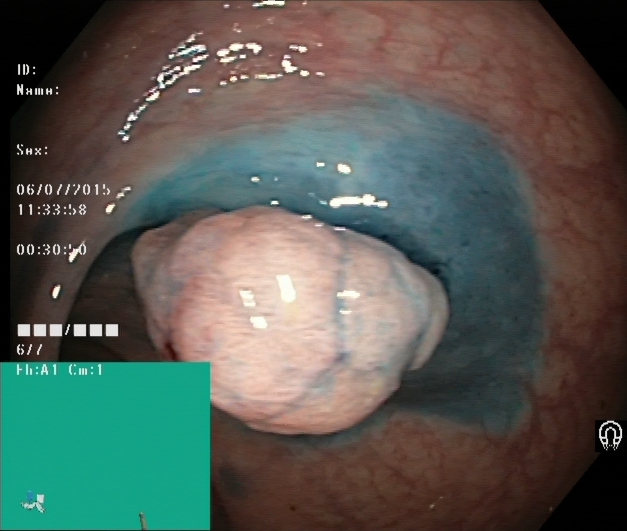{"modality": "lower-GI endoscopy", "finding": "dyed and lifted polyp (pre-resection)"}